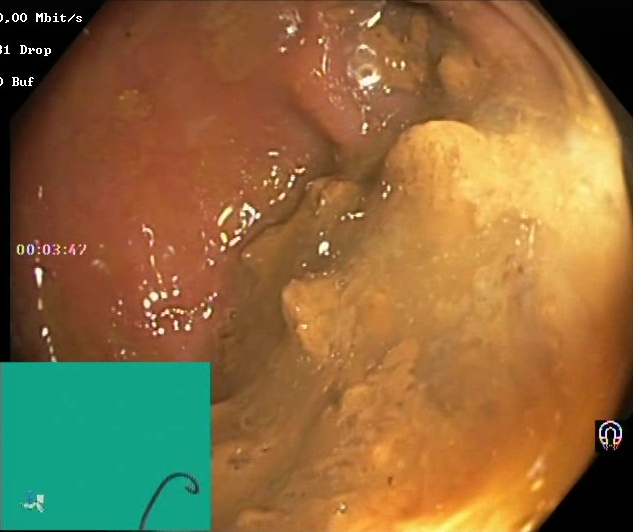Endoscopy image of the lower GI tract showing Boston Bowel Preparation Scale score 0–1 (inadequate preparation).